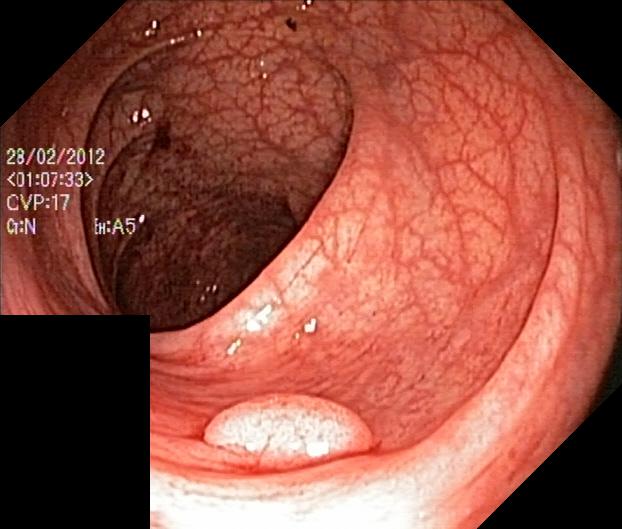Lower gastrointestinal endoscopy. Tract: lower GI tract. Pathological finding. Finding: colorectal polyp(s).